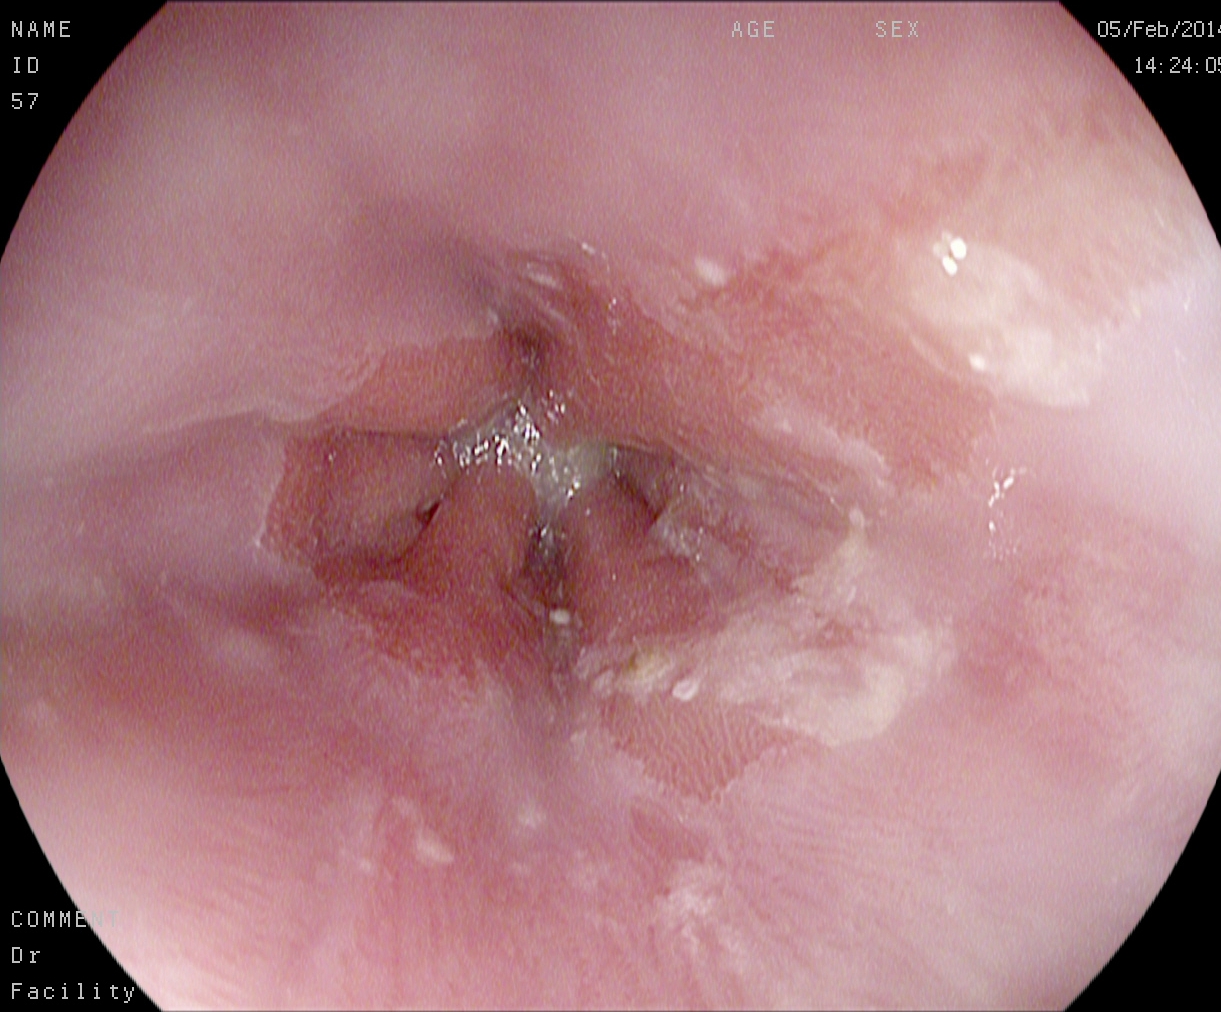GI endoscopy image of the upper GI tract showing Barrett's esophagus.